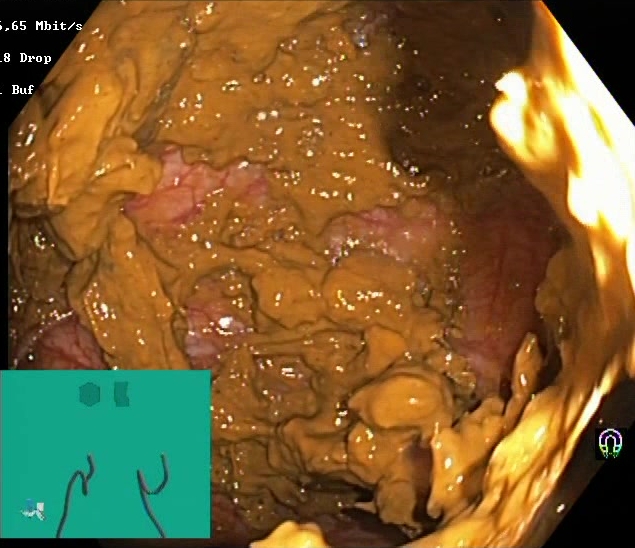Boston Bowel Preparation Scale score 0–1 (inadequate preparation).